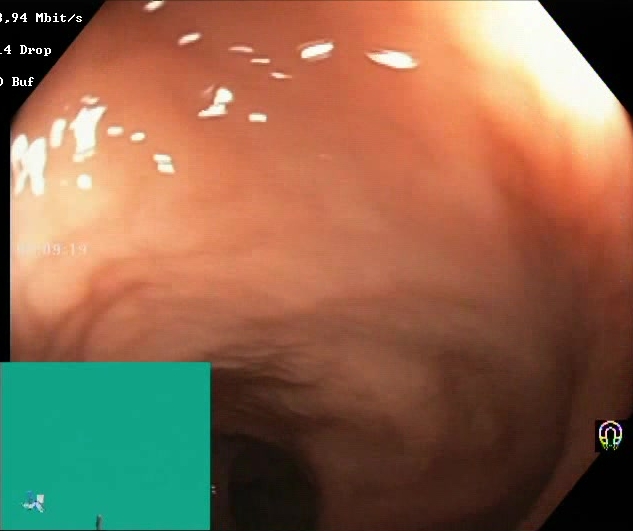Lower gastrointestinal endoscopy. Finding: Boston Bowel Preparation Scale score 2–3 (adequate preparation).